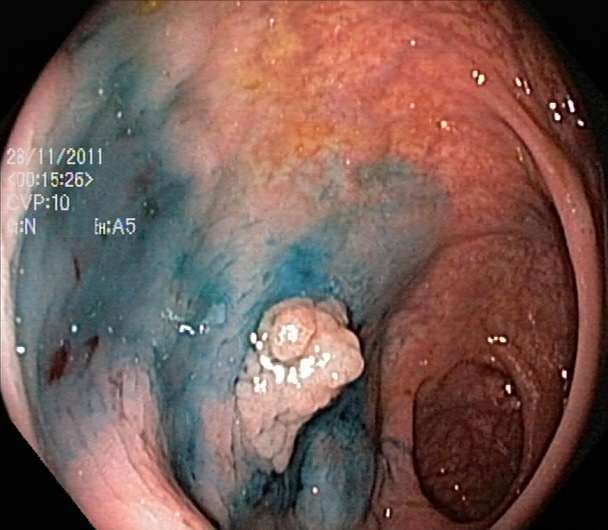Endoscopy image of the lower GI tract showing dyed and lifted polyp (pre-resection).